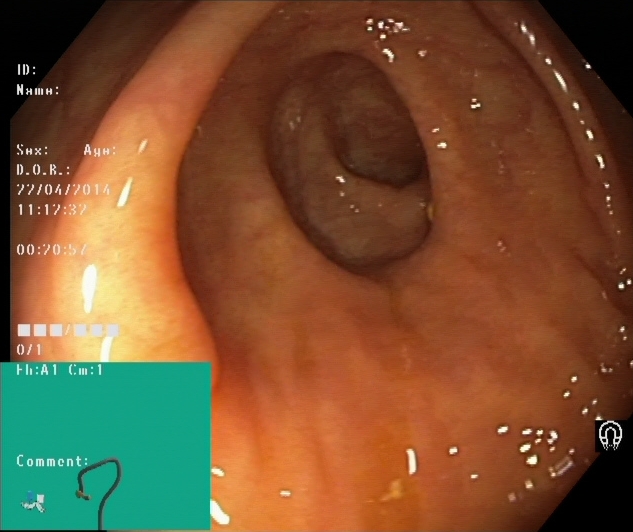This endoscopic image shows cecum.